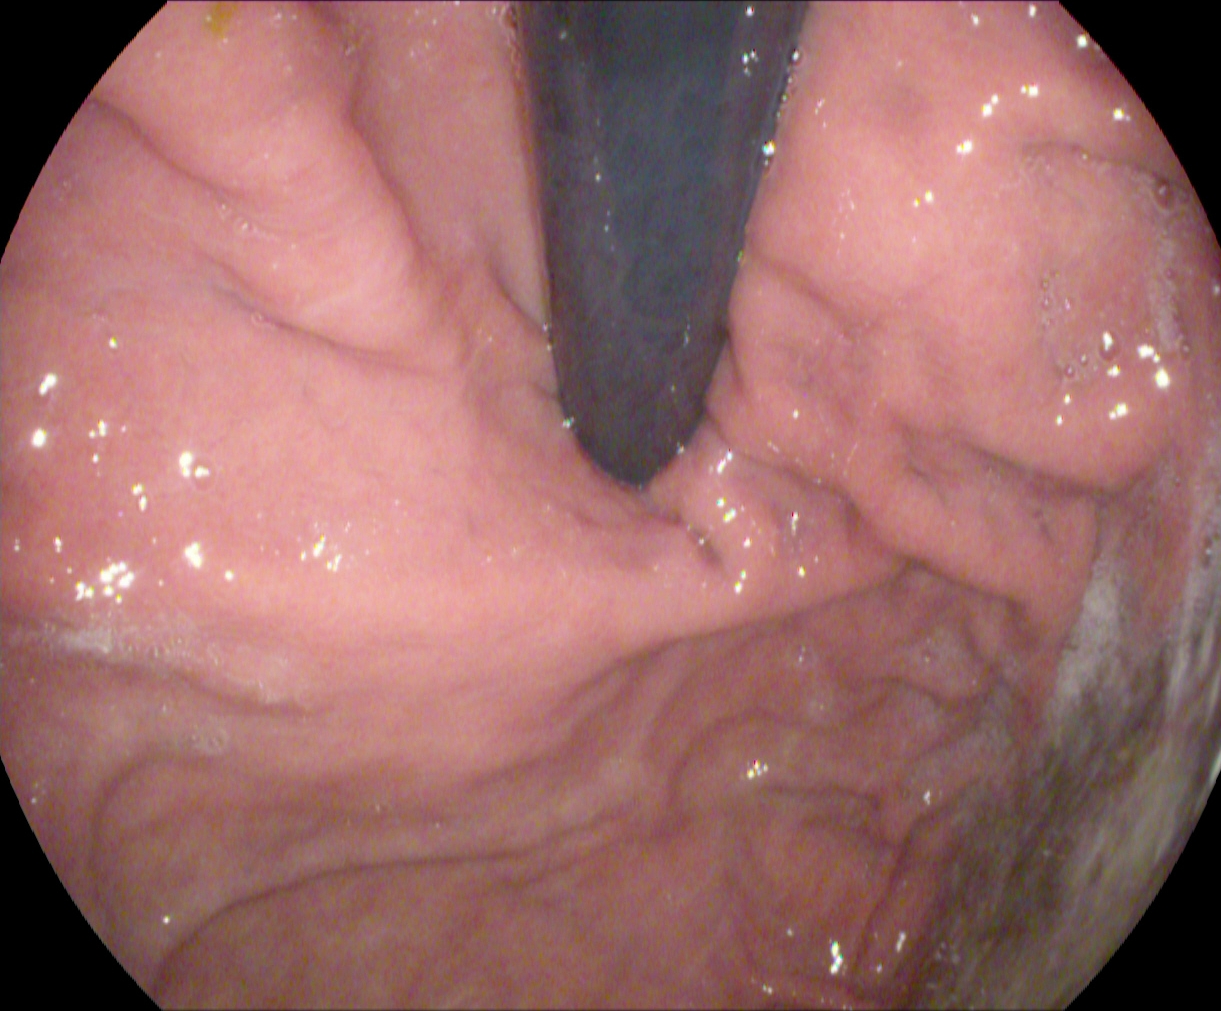PROCEDURE: EGD.
FINDINGS: Stomach in retroflexion.